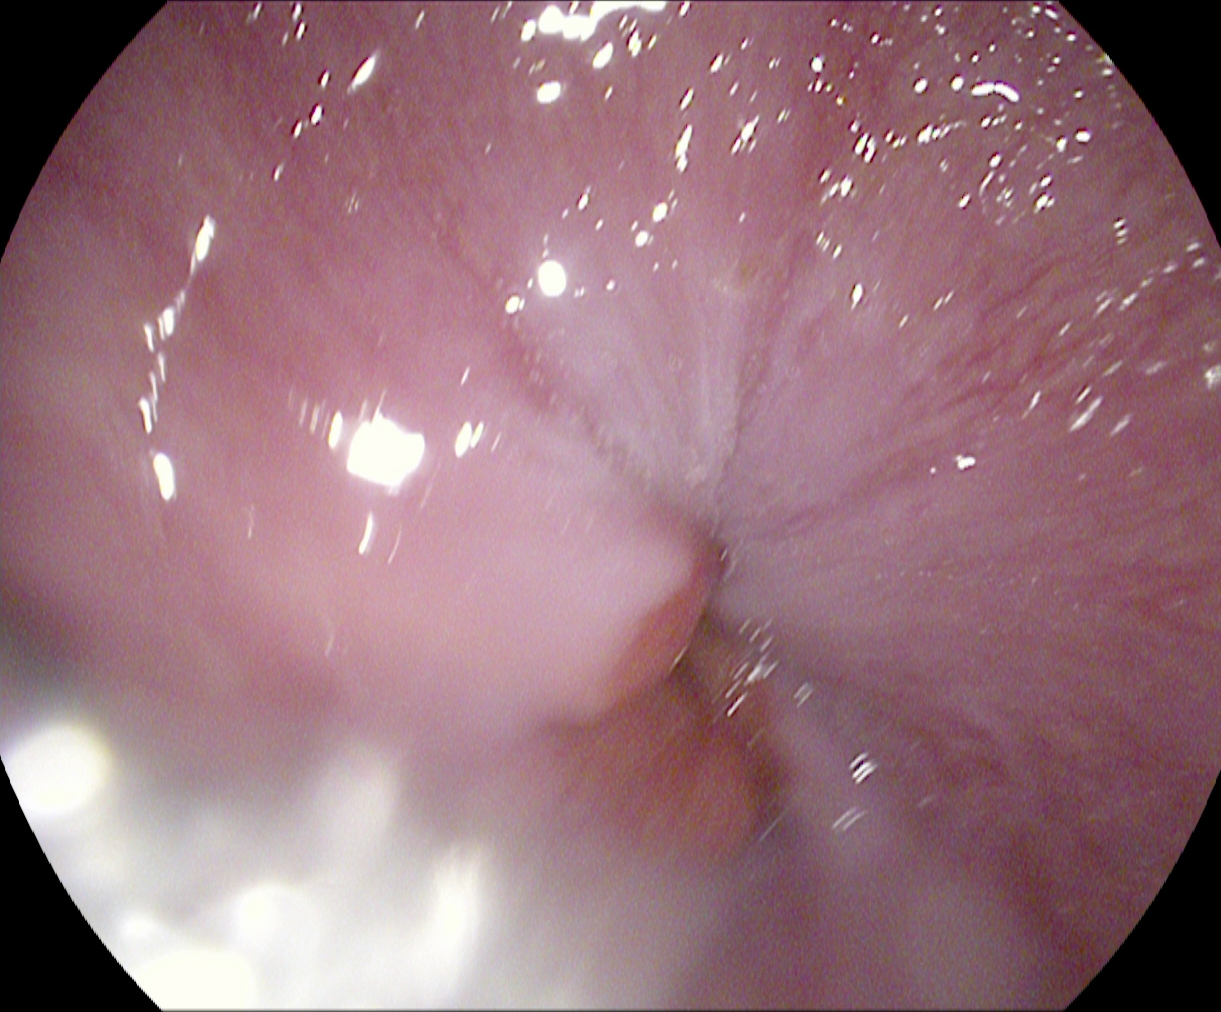Z-line (gastroesophageal junction).